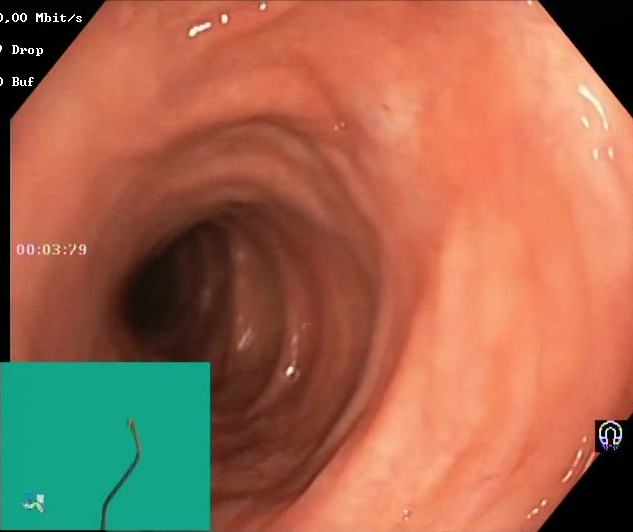This endoscopy frame of the lower GI tract shows Boston Bowel Preparation Scale score 2–3 (adequate preparation).